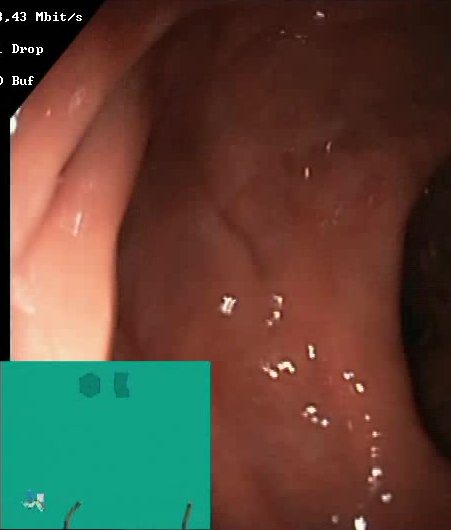This endoscopic image shows Boston Bowel Preparation Scale score 2–3 (adequate preparation).